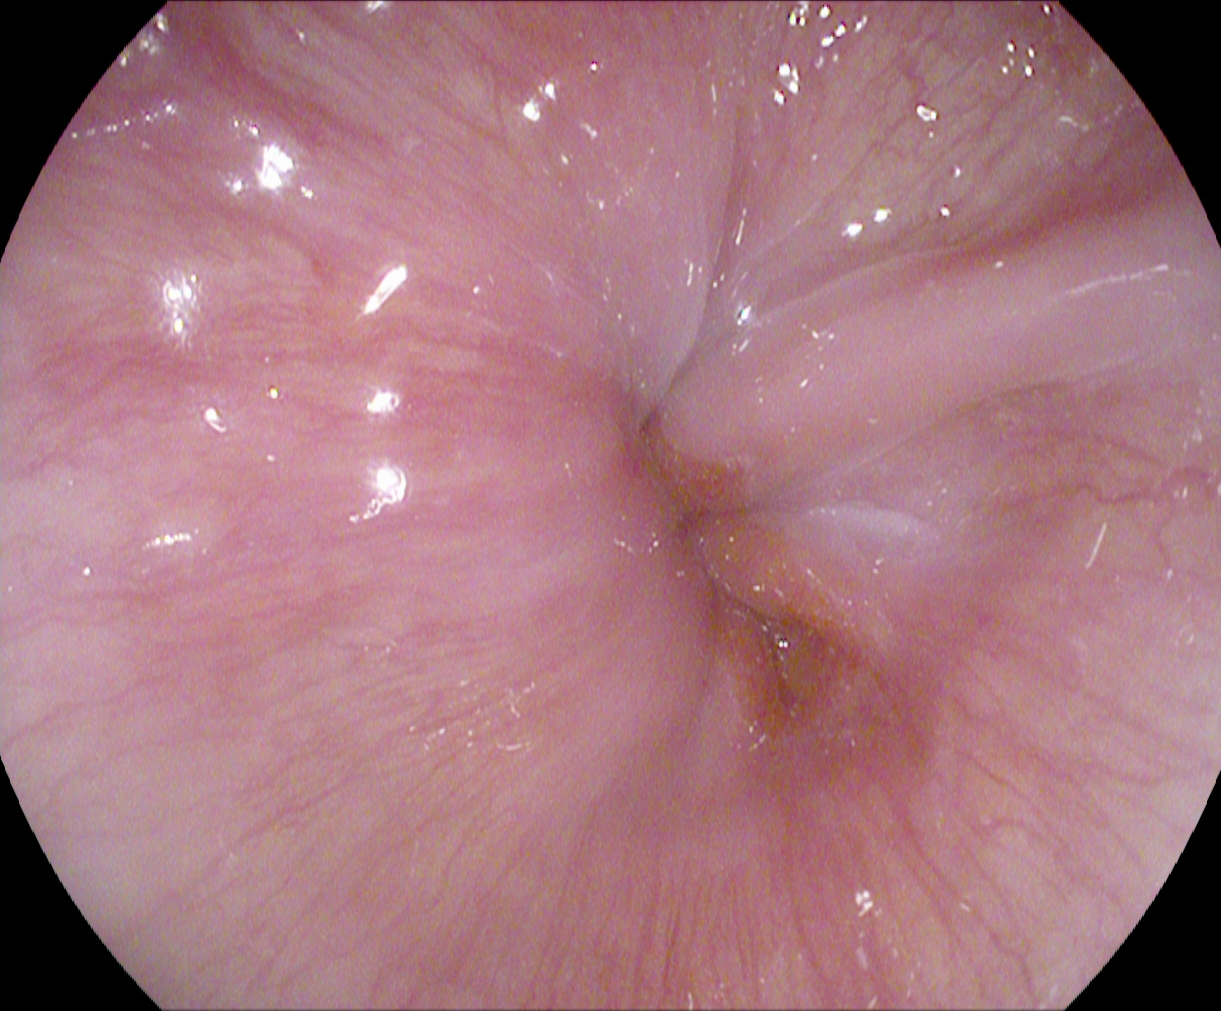Z-line (gastroesophageal junction).